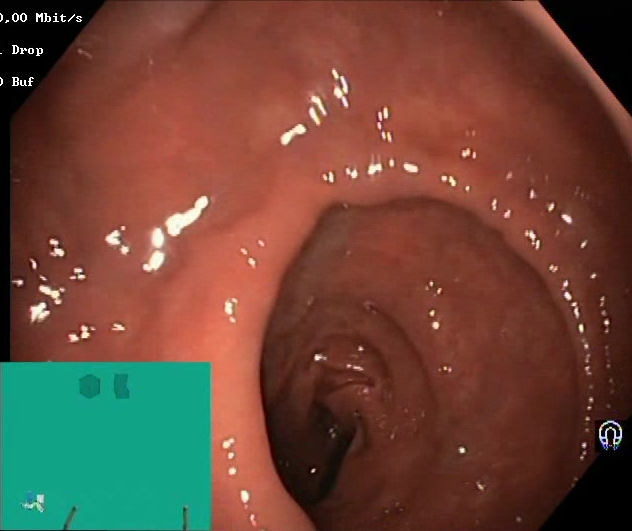modality: lower-GI endoscopy; tract: lower GI tract; category: mucosal-view quality; finding: Boston Bowel Preparation Scale score 2–3 (adequate preparation)